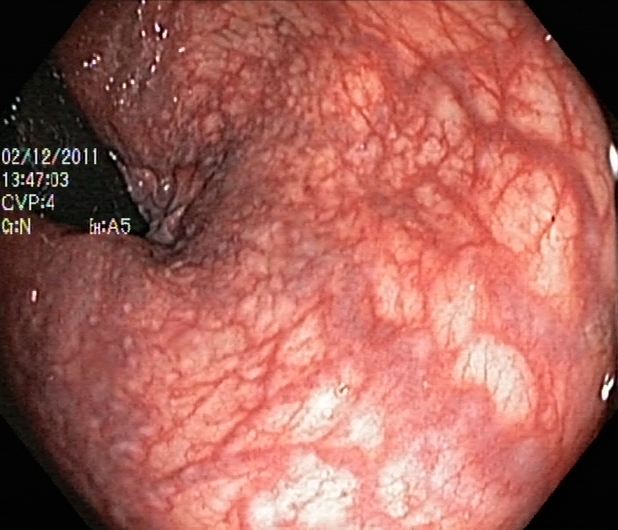Colonoscopy. Tract: lower GI tract. Finding: rectum in retroflexion.